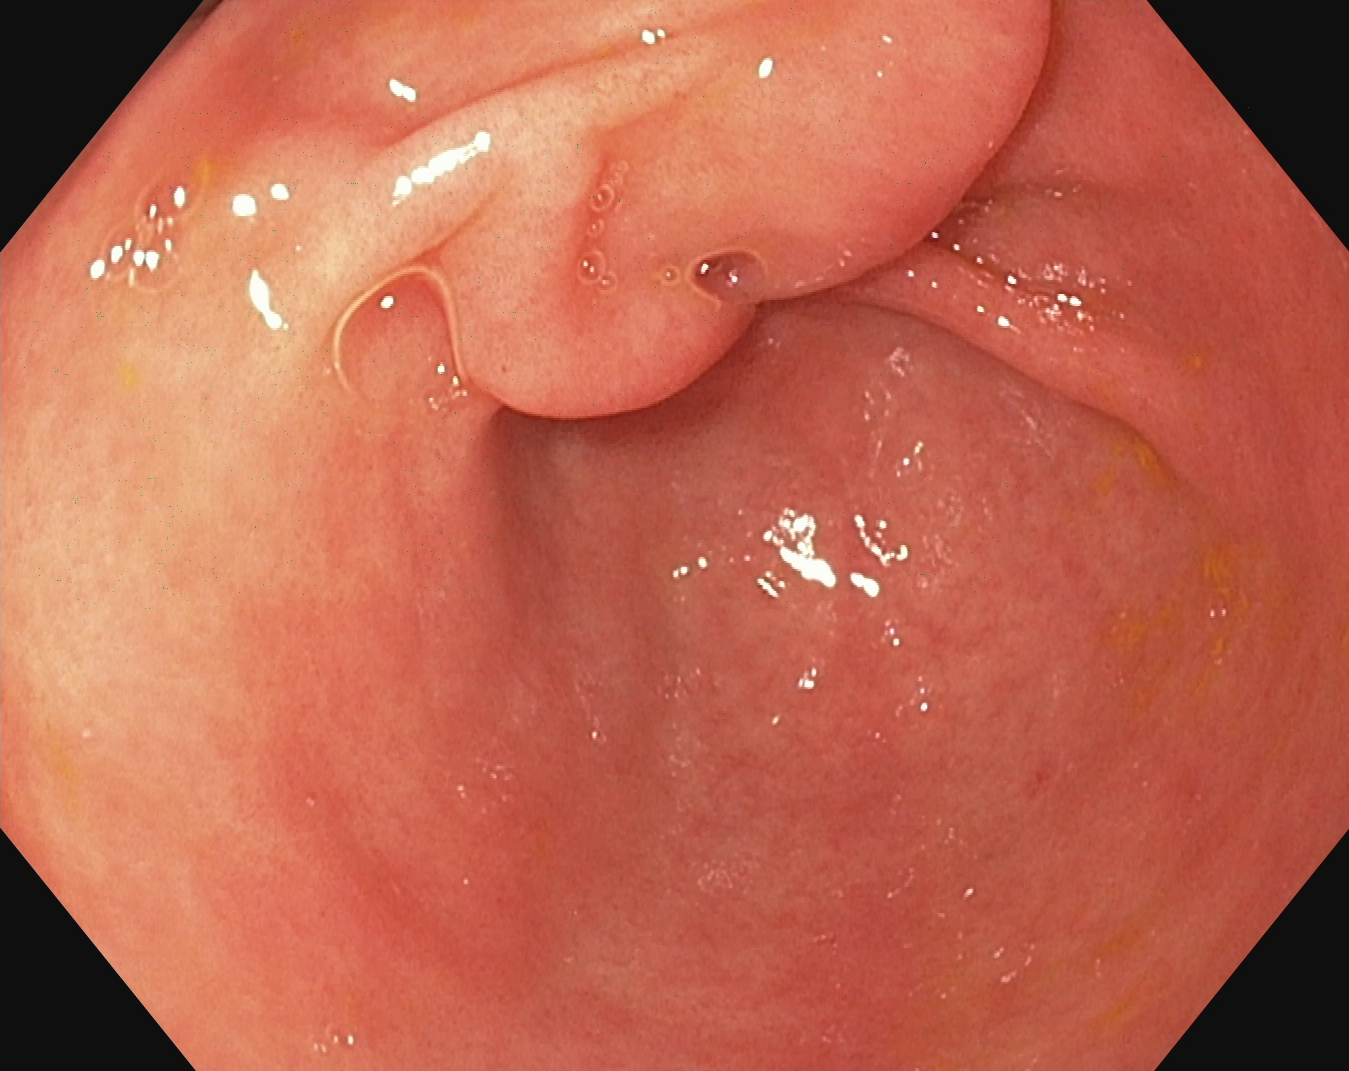modality: EGD; finding: pylorus